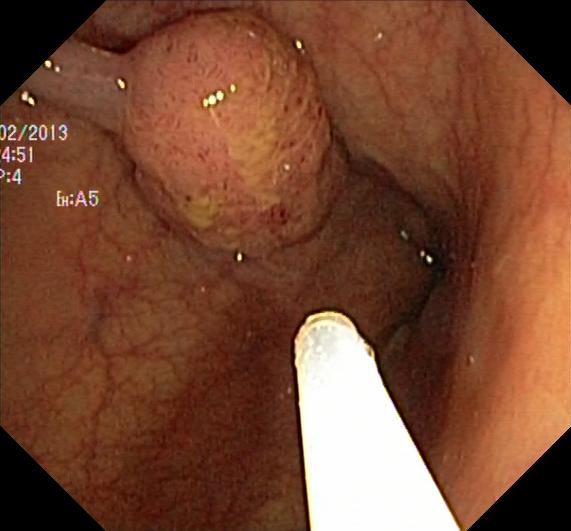modality: colonoscopy; tract: lower GI tract; finding: colorectal polyp(s)